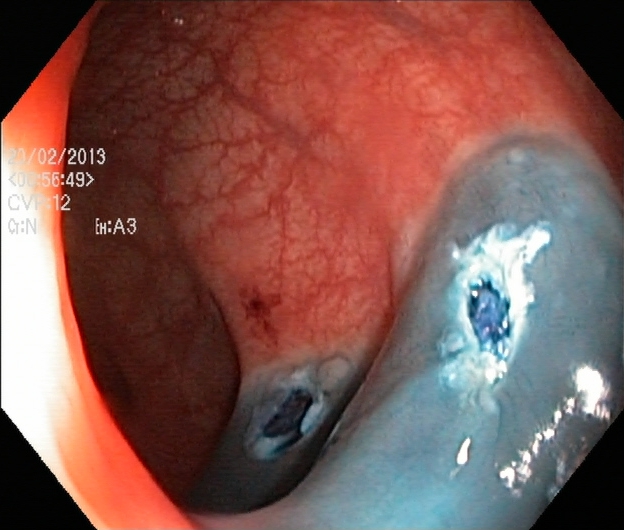PROCEDURE: Lower gastrointestinal endoscopy.
CATEGORY: Therapeutic intervention.
FINDINGS: Dyed resection margins (post-polypectomy).